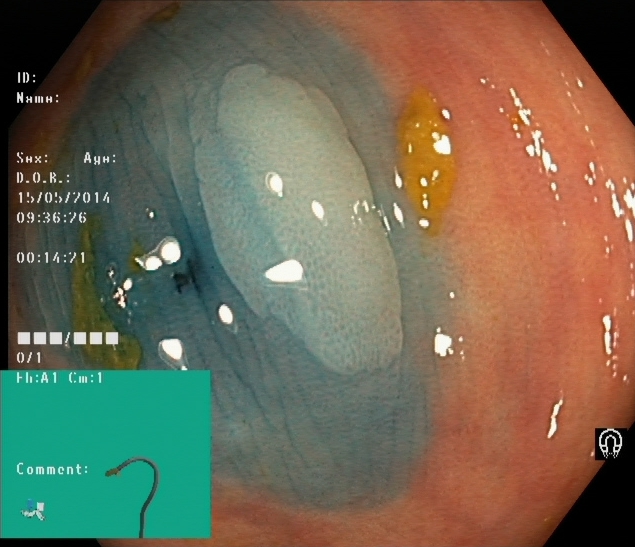modality: lower-GI endoscopy; tract: lower GI tract; finding: dyed and lifted polyp (pre-resection)